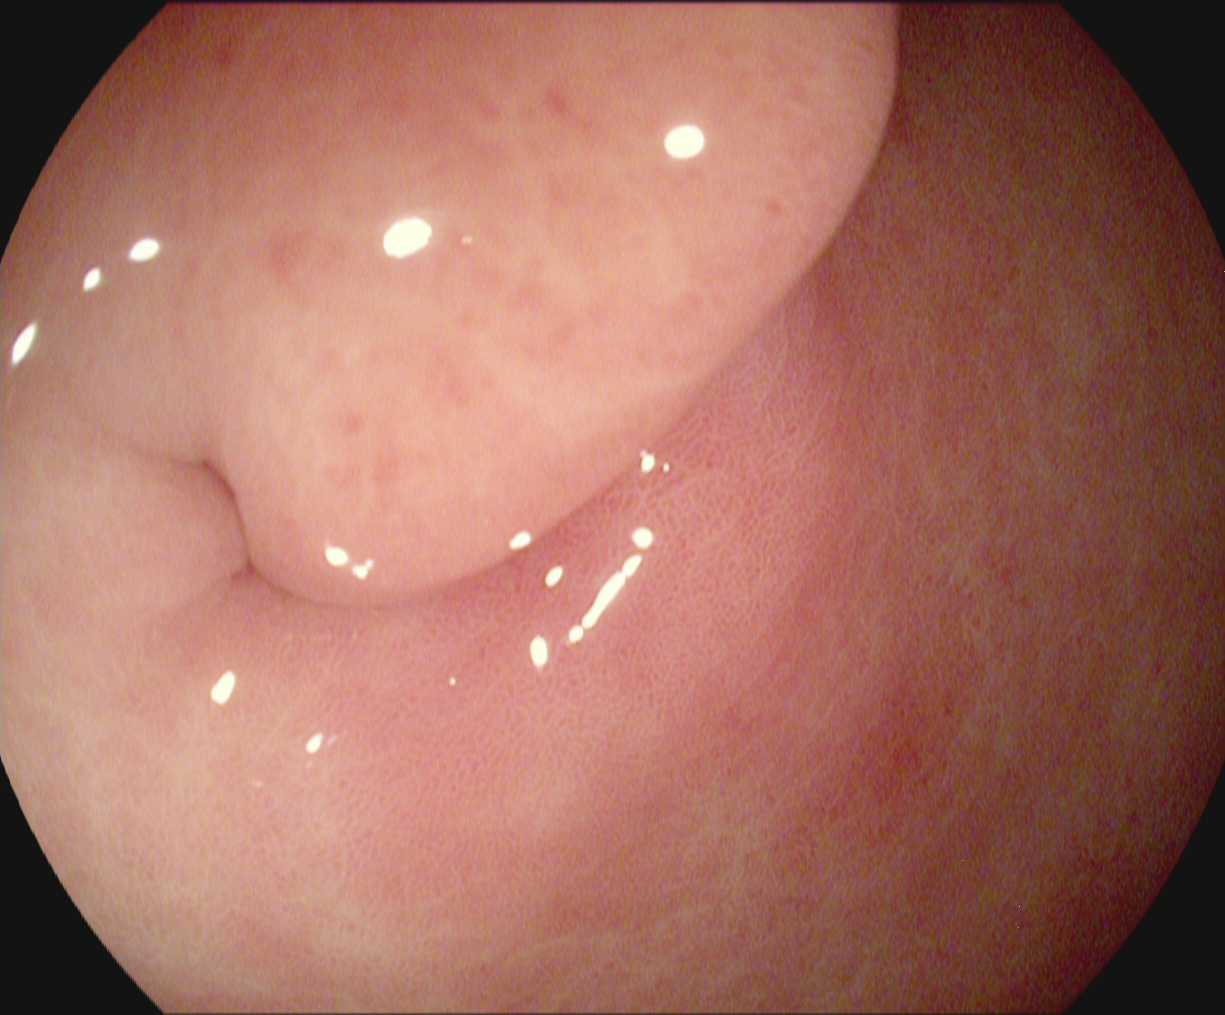{"modality": "esophagogastroduodenoscopy", "tract": "upper GI tract", "category": "anatomical landmark", "finding": "pylorus"}